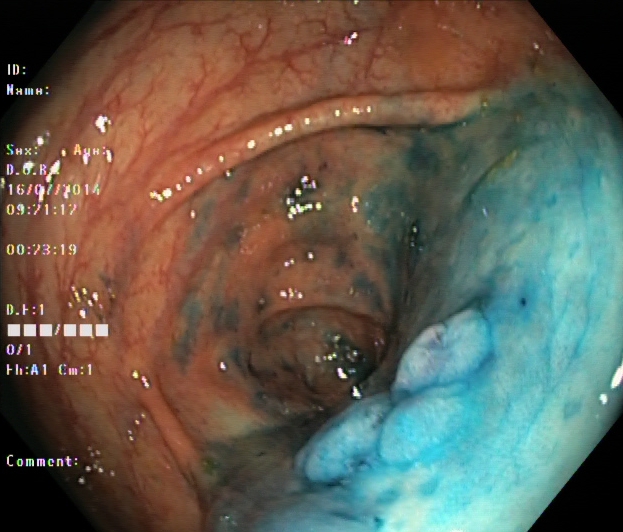Endoscopic frame showing dyed and lifted polyp (pre-resection).